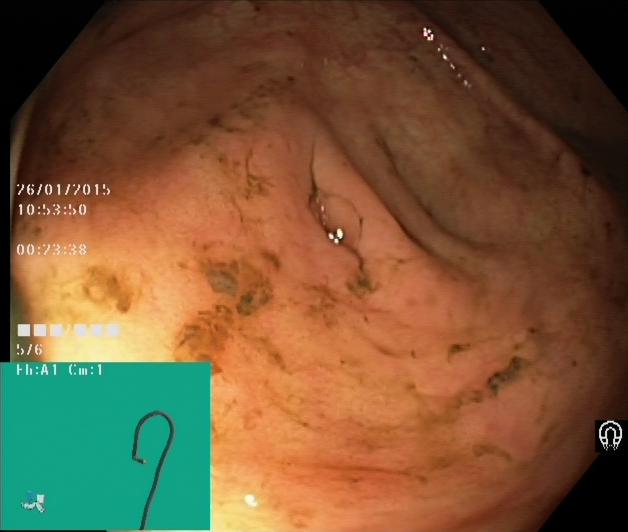PROCEDURE: Colonoscopy.
CATEGORY: Anatomical landmark.
FINDINGS: Cecum.